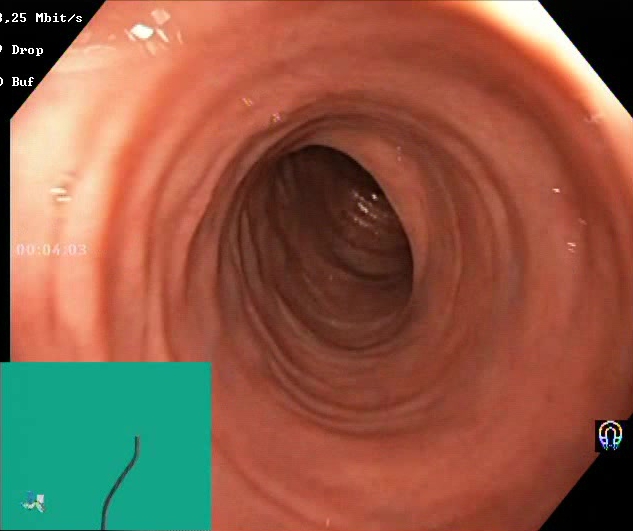Gastrointestinal endoscopy image showing Boston Bowel Preparation Scale score 2–3 (adequate preparation).